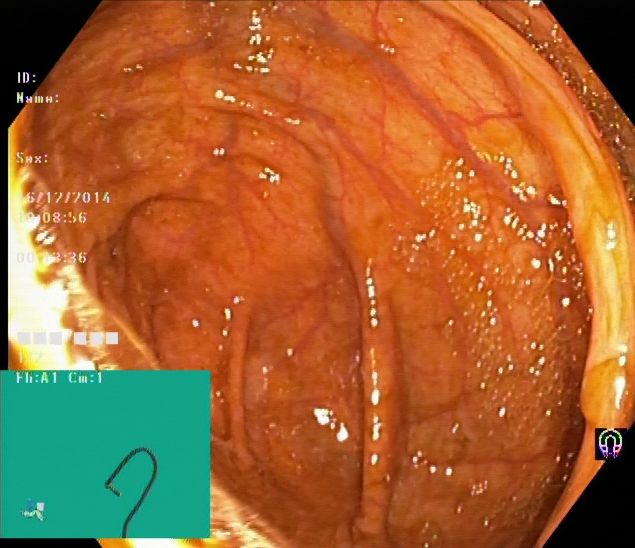PROCEDURE: Lower gastrointestinal endoscopy.
FINDINGS: Cecum.